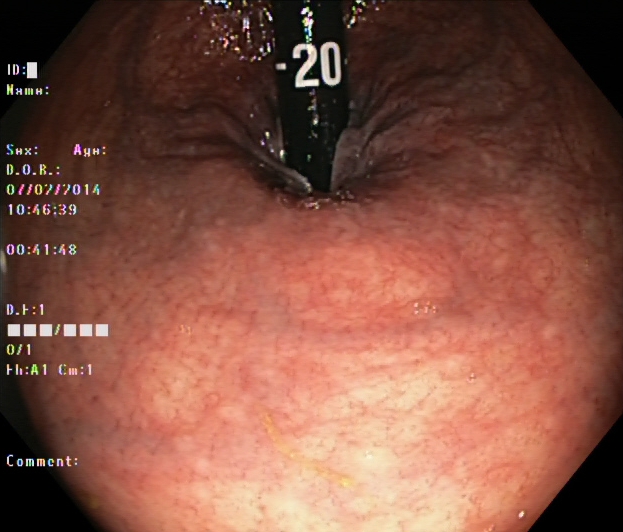PROCEDURE: Lower gastrointestinal endoscopy.
FINDINGS: Rectum in retroflexion.